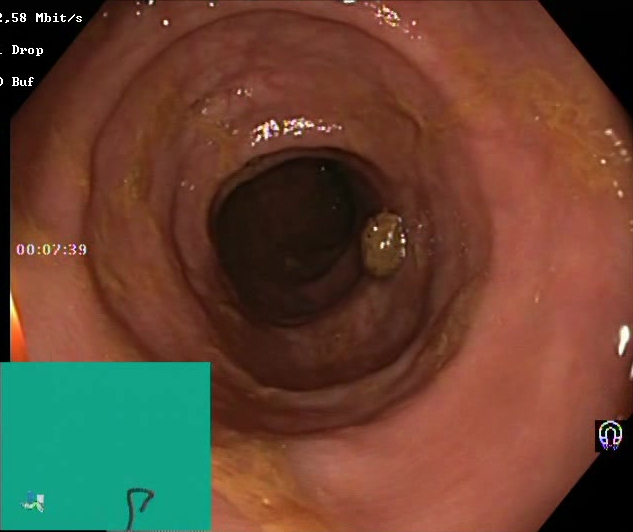Endoscopic image showing Boston Bowel Preparation Scale score 2–3 (adequate preparation).